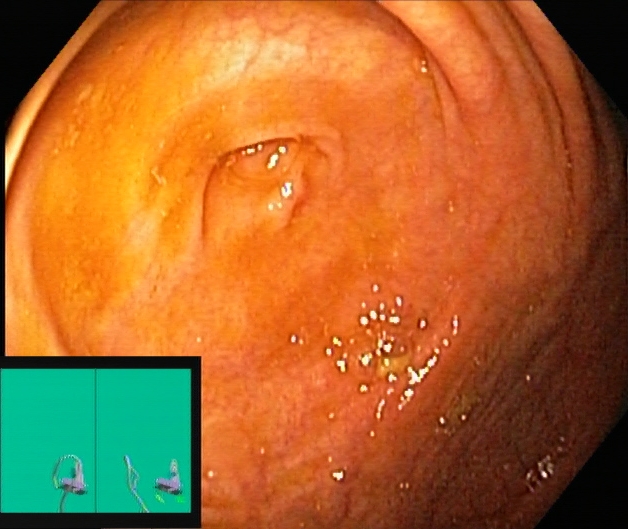Gastrointestinal endoscopy image showing cecum.